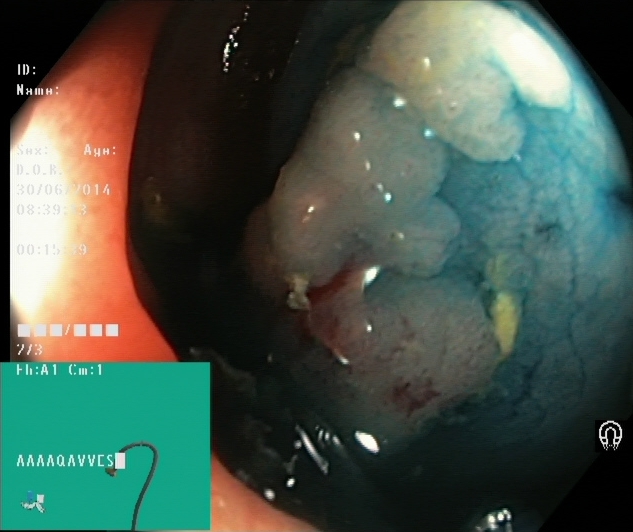modality: lower-GI endoscopy; category: therapeutic intervention; finding: dyed and lifted polyp (pre-resection)